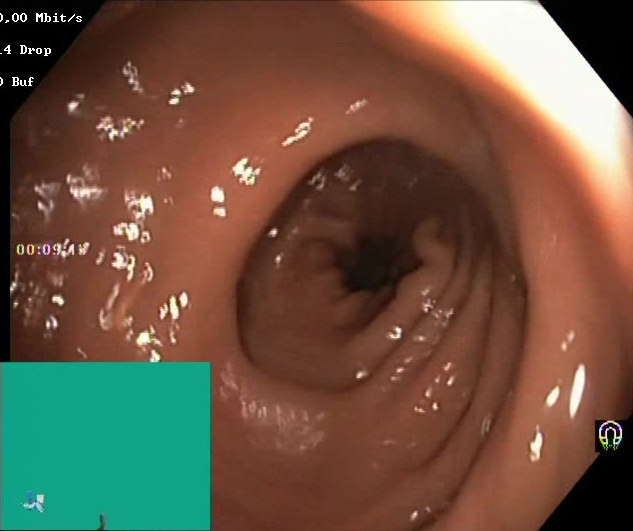PROCEDURE: Lower-GI endoscopy.
FINDINGS: Boston Bowel Preparation Scale score 2–3 (adequate preparation).